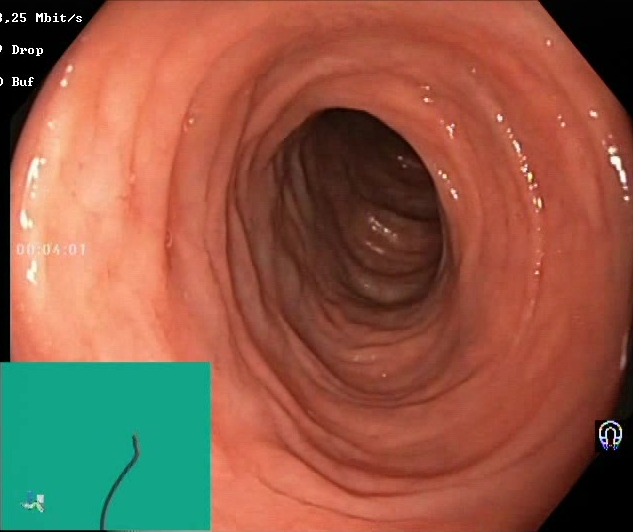Lower-GI endoscopy — Boston Bowel Preparation Scale score 2–3 (adequate preparation).